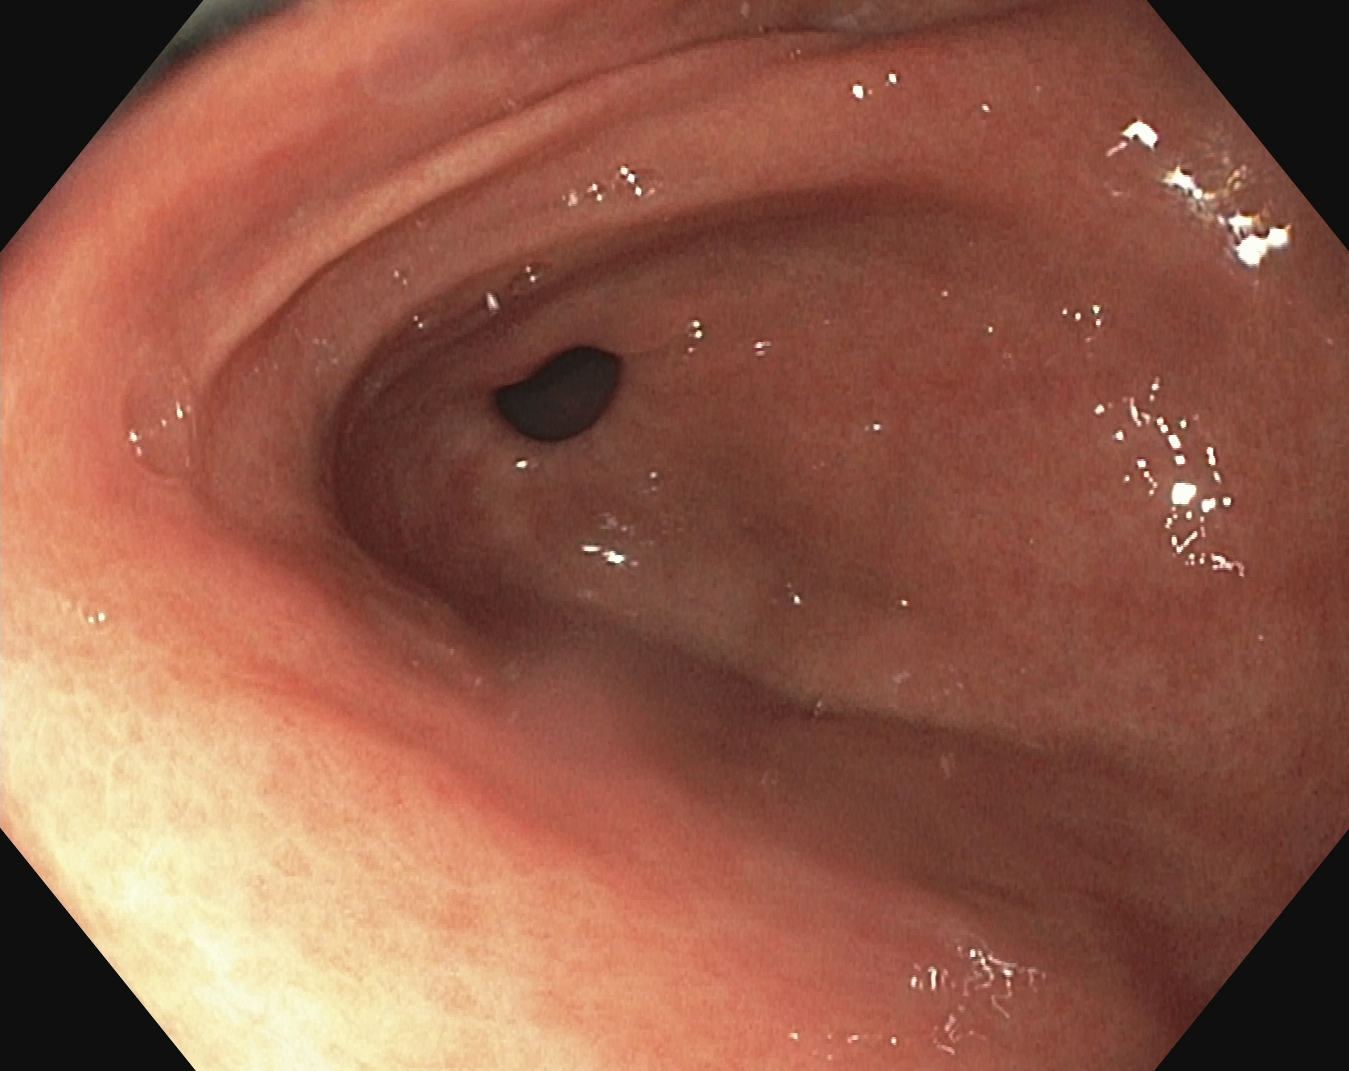{"modality": "esophagogastroduodenoscopy", "finding": "pylorus"}